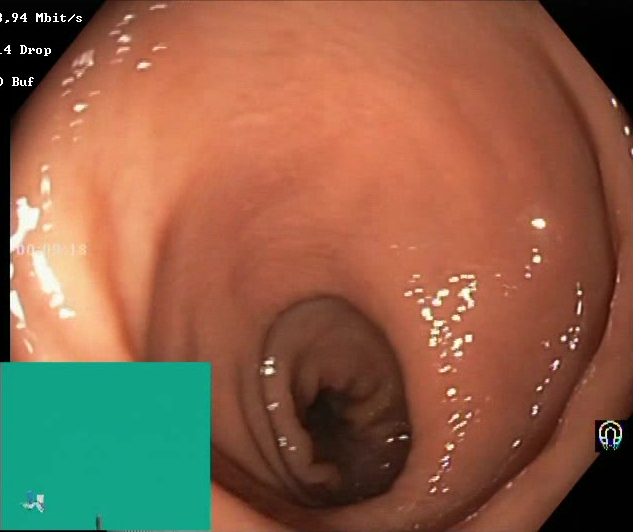BBPS score 2–3 (adequate preparation).